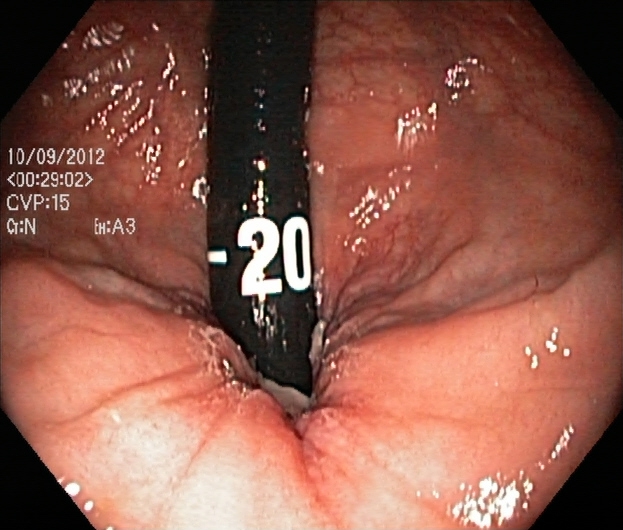modality: lower-GI endoscopy
finding: rectum in retroflexion